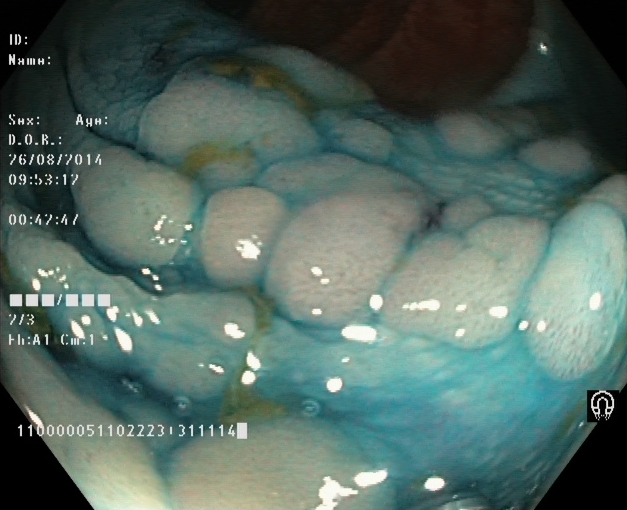dyed and lifted polyp (pre-resection).